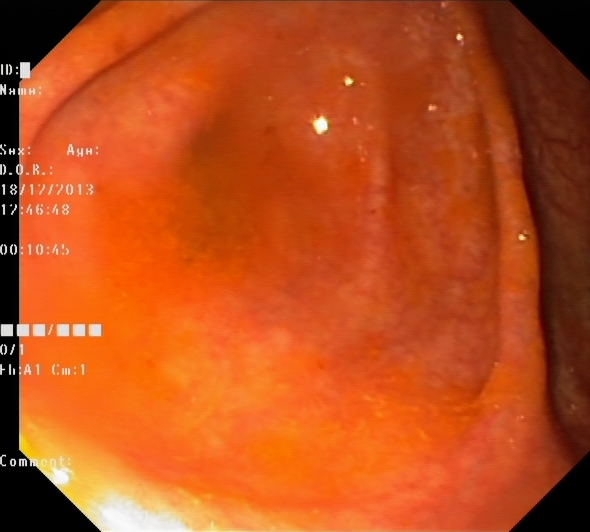UC, Mayo endoscopic subscore 1.